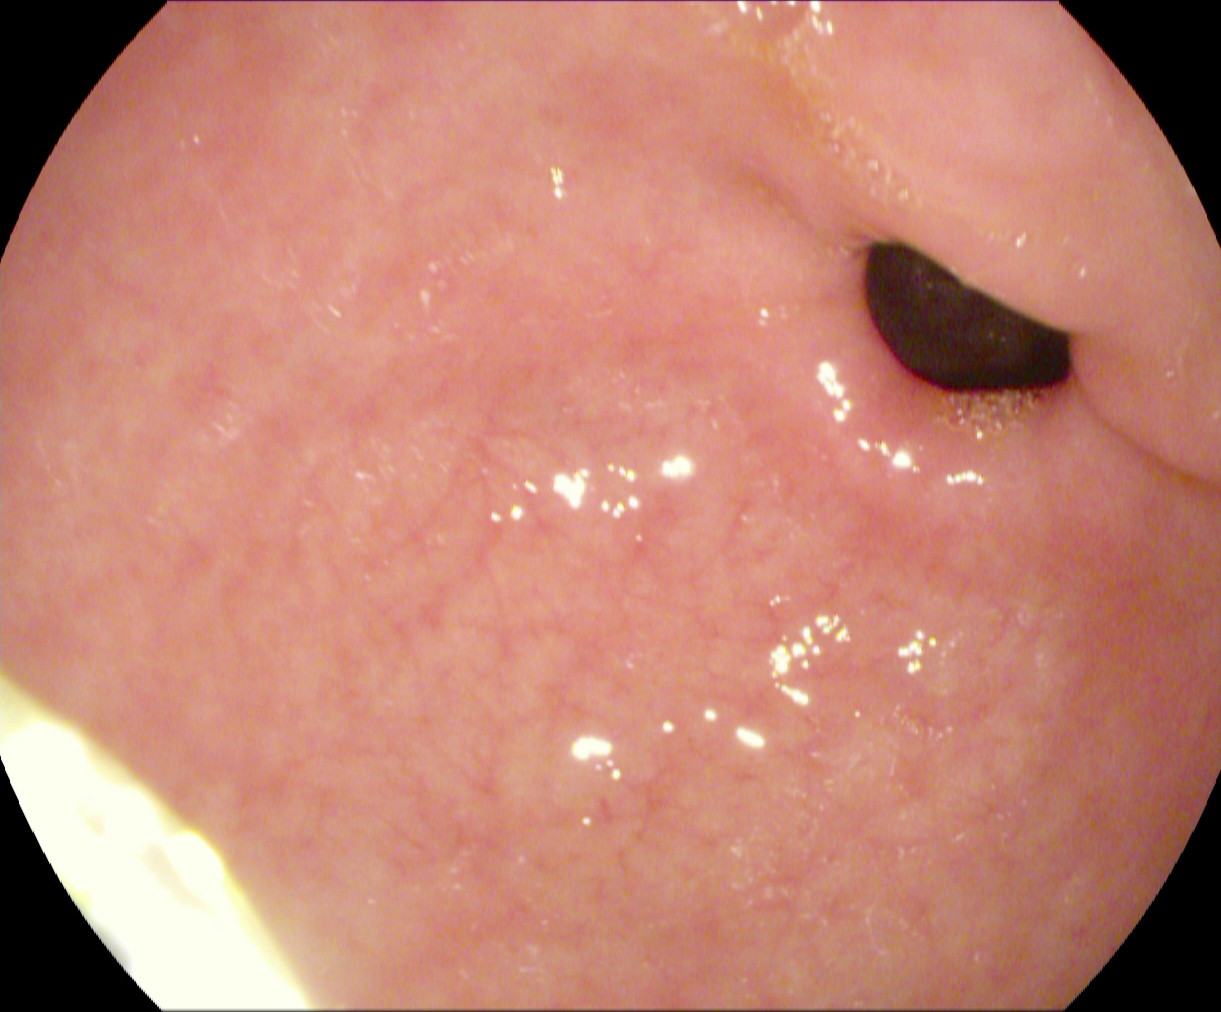Pylorus.